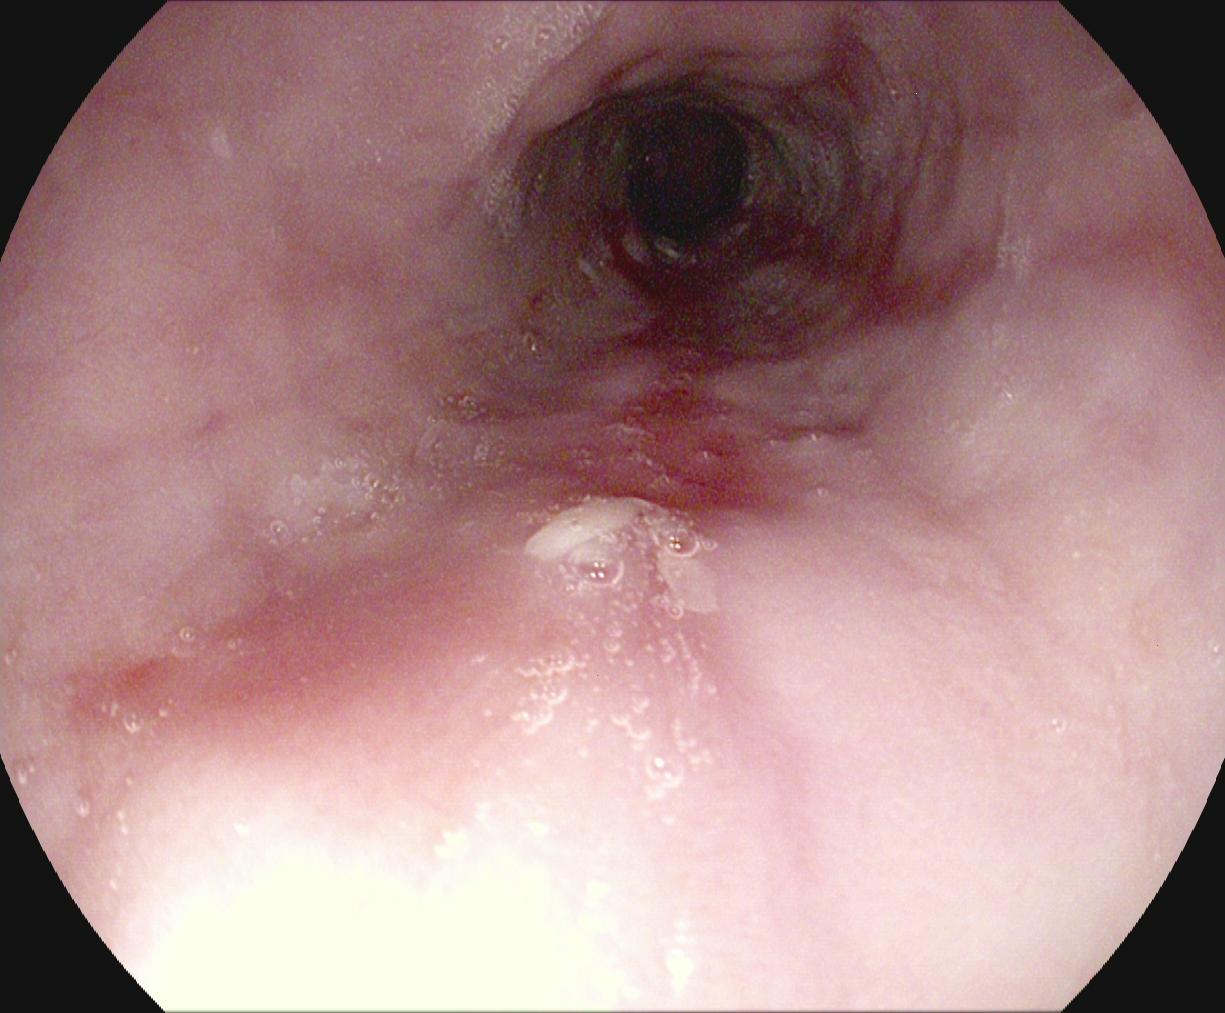Upper-GI endoscopy — reflux esophagitis, Los Angeles grade B–D.